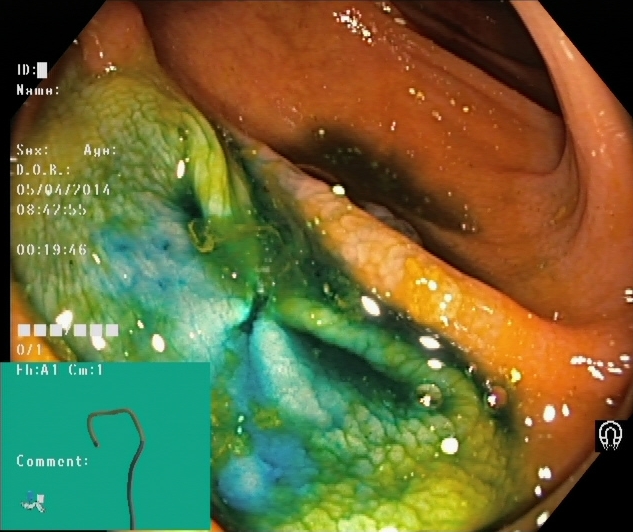{"modality": "lower-GI endoscopy", "finding": "dyed resection margins (post-polypectomy)"}